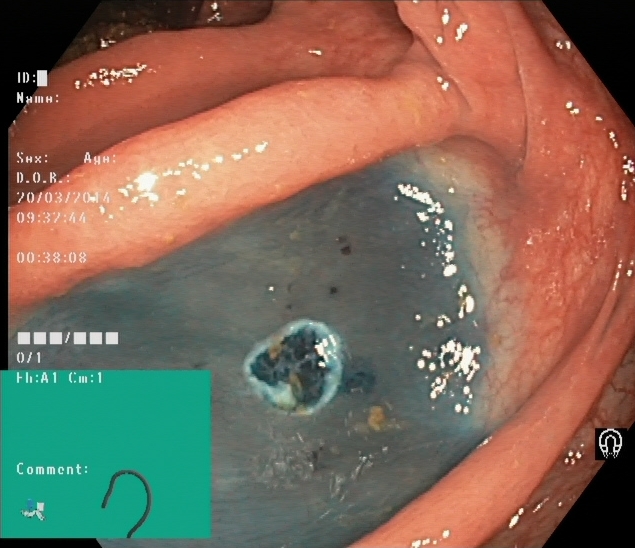Colonoscopy — dyed resection margins (post-polypectomy).